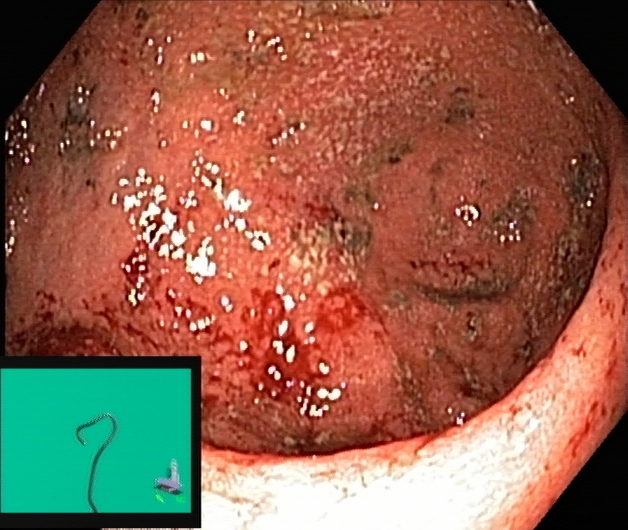This endoscopy frame shows ulcerative colitis, Mayo endoscopic subscore 2.